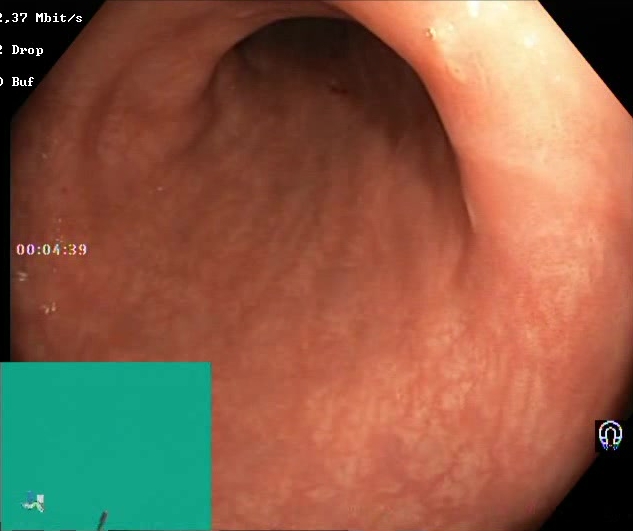GI endoscopy image of the lower GI tract showing Boston Bowel Preparation Scale score 2–3 (adequate preparation).